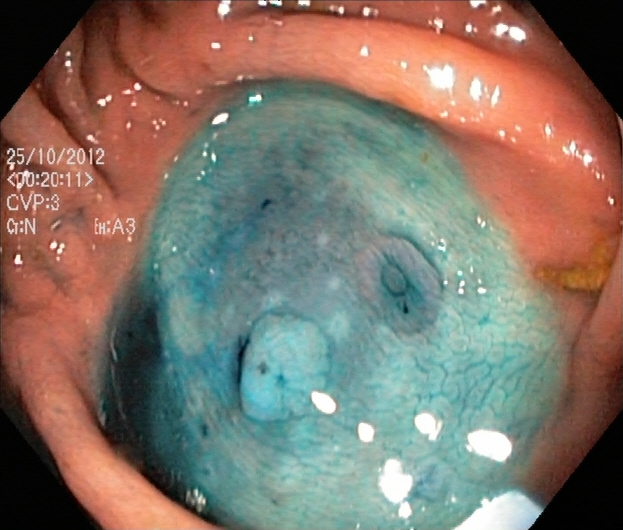Lower-GI endoscopy image of the lower GI tract showing dyed and lifted polyp (pre-resection).